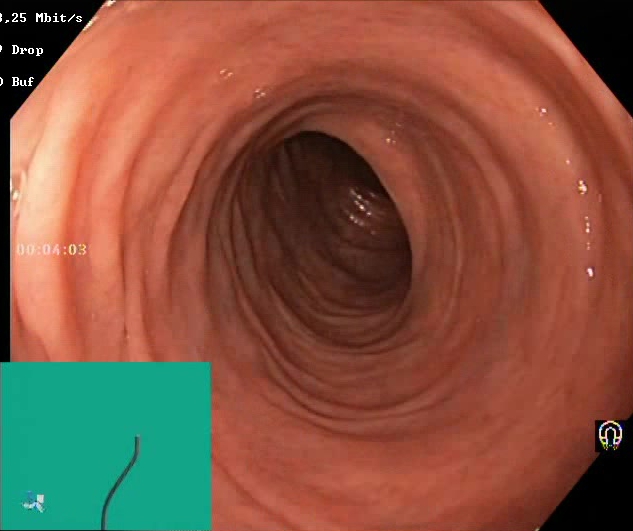{"modality": "lower-GI endoscopy", "tract": "lower GI tract", "finding": "Boston Bowel Preparation Scale score 2\u20133 (adequate preparation)"}